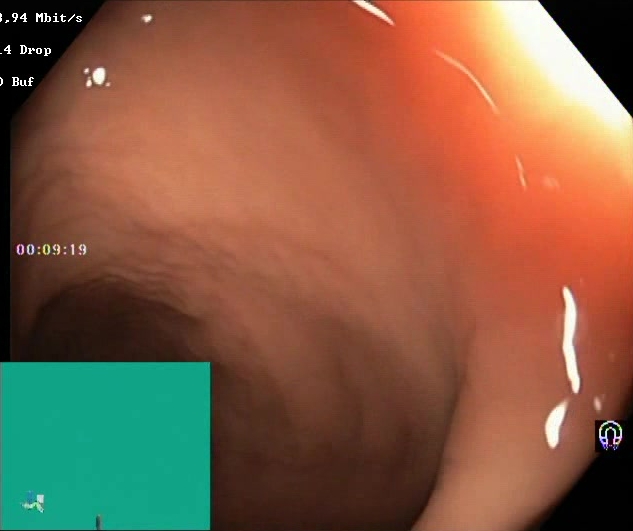{"modality": "lower gastrointestinal endoscopy", "category": "mucosal-view quality", "finding": "Boston Bowel Preparation Scale score 2\u20133 (adequate preparation)"}